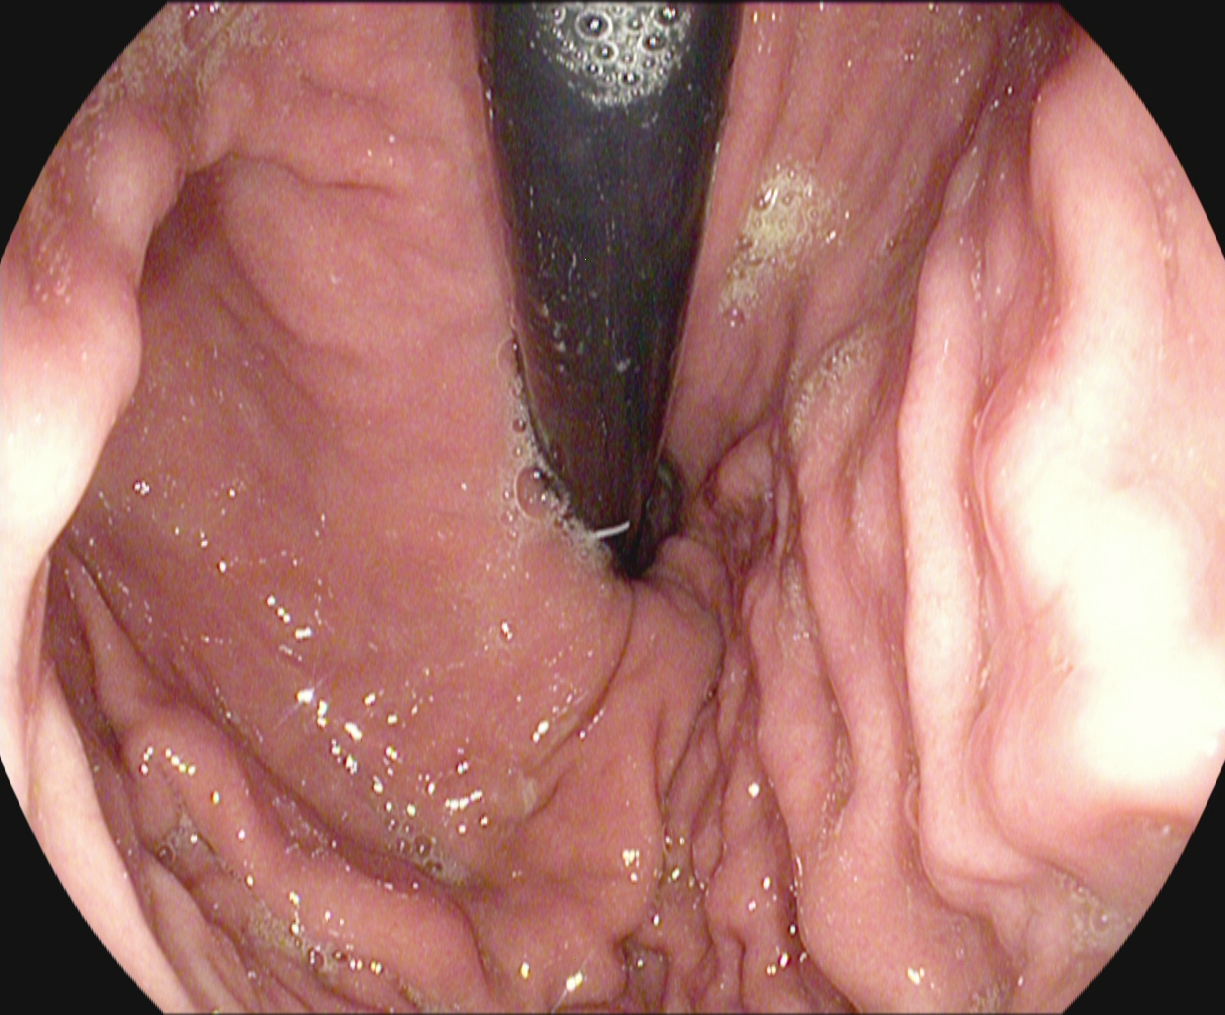PROCEDURE: Upper-GI endoscopy.
FINDINGS: Stomach in retroflexion.